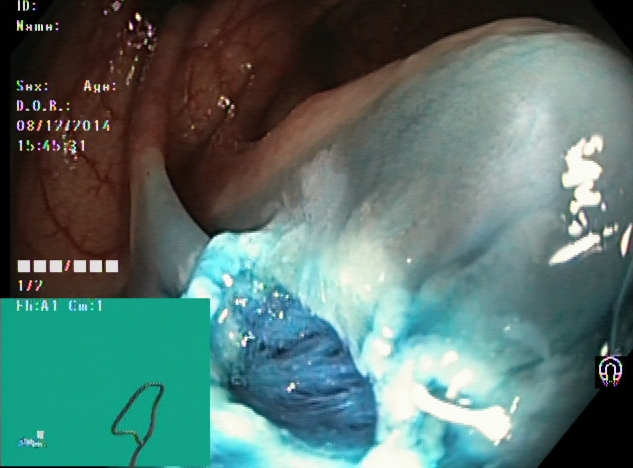Lower gastrointestinal endoscopy — dyed resection margins (post-polypectomy).